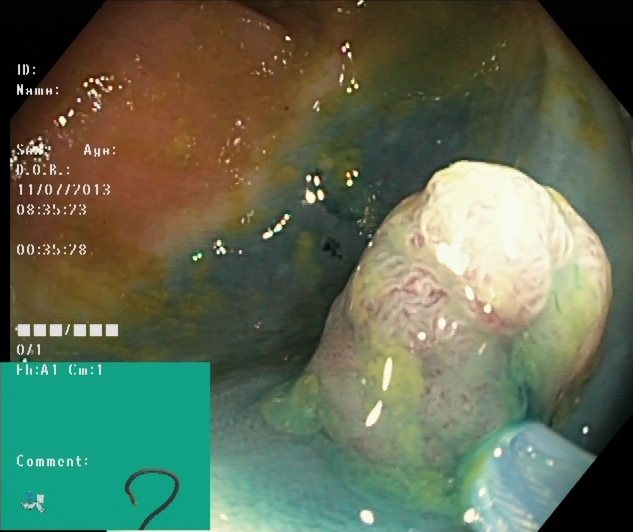Gastrointestinal endoscopy image showing dyed and lifted polyp (pre-resection).